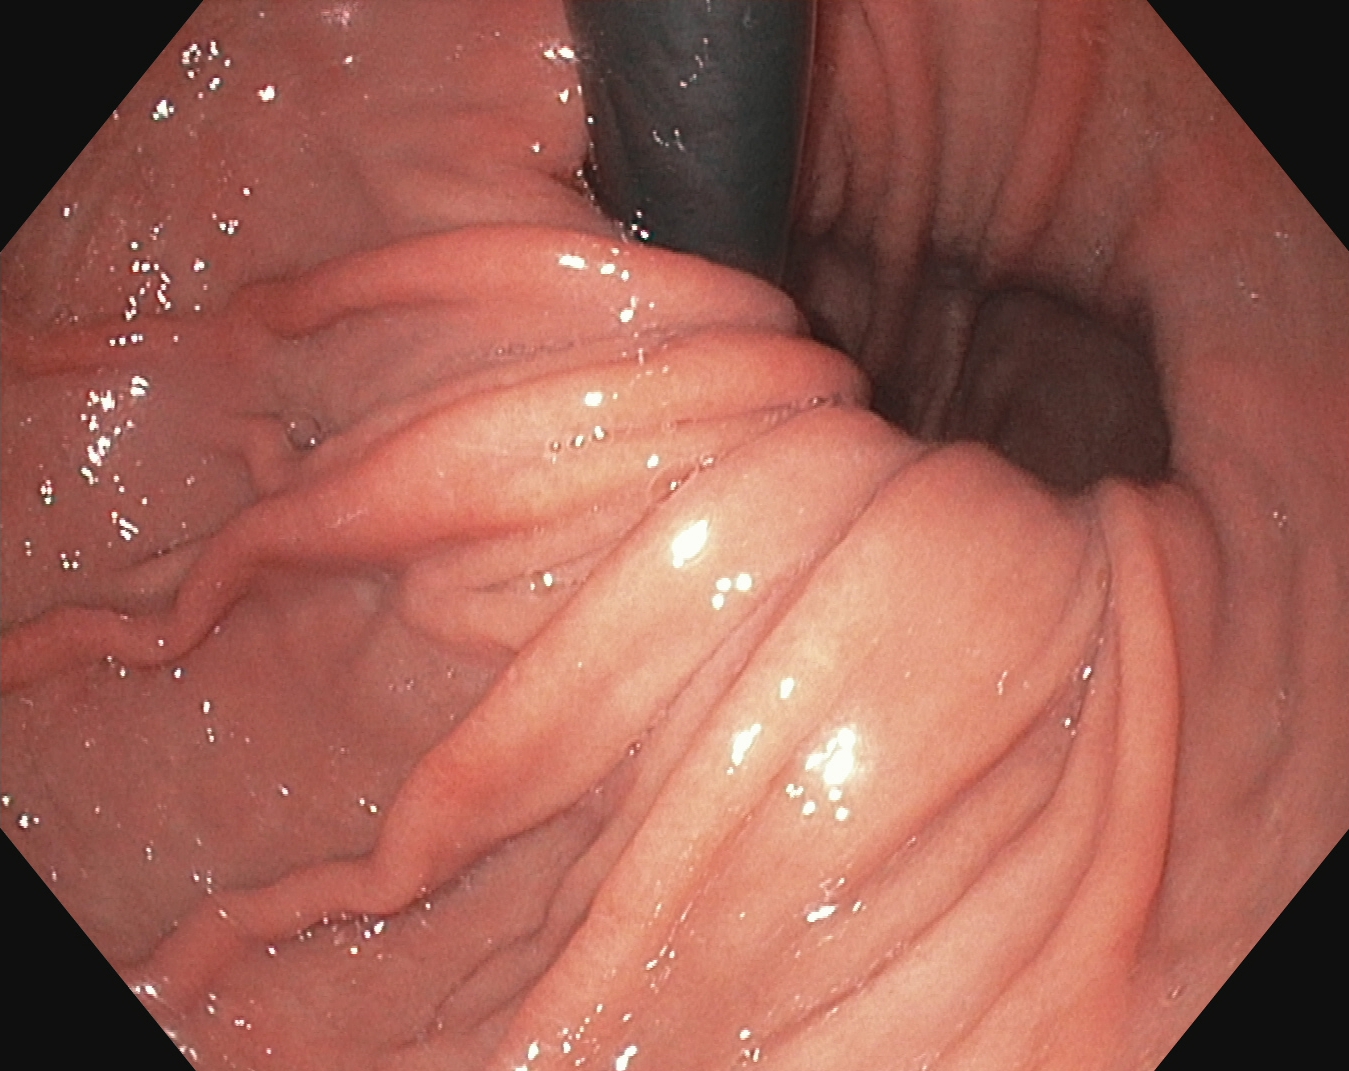PROCEDURE: EGD.
FINDINGS: Stomach in retroflexion.